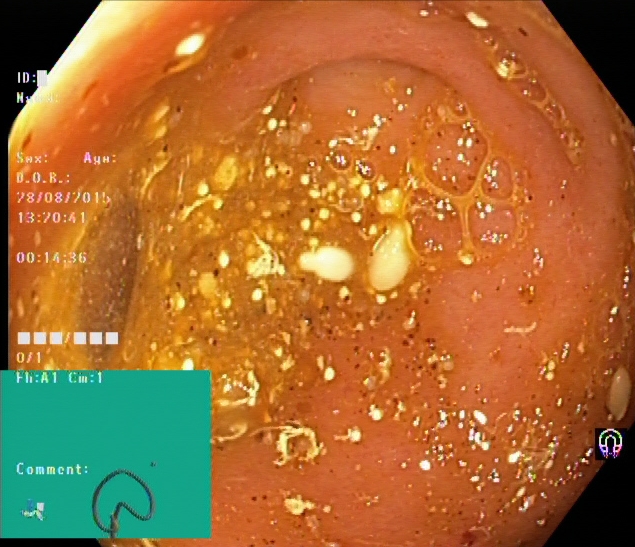This endoscopic image of the lower GI tract shows cecum.